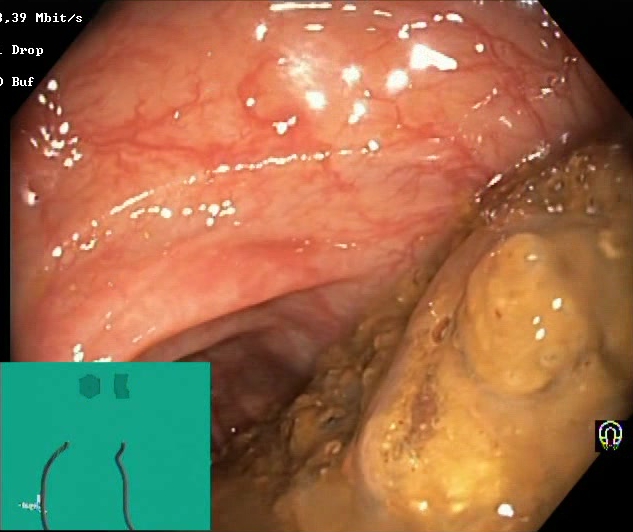modality: lower gastrointestinal endoscopy; tract: lower GI tract; finding: Boston Bowel Preparation Scale score 0–1 (inadequate preparation)